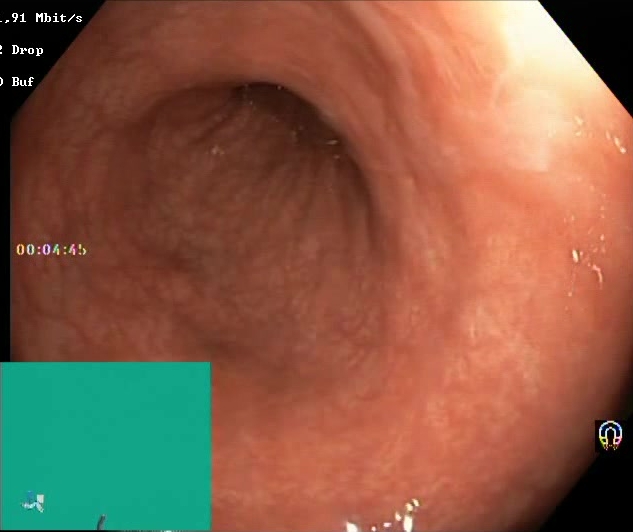{"modality": "lower gastrointestinal endoscopy", "finding": "Boston Bowel Preparation Scale score 2\u20133 (adequate preparation)"}